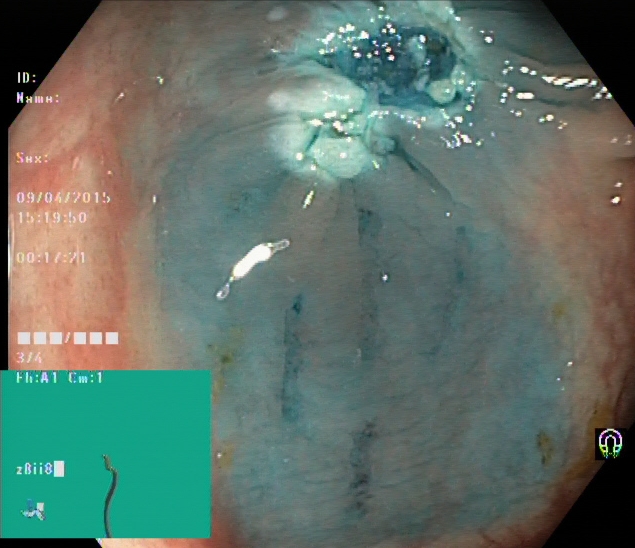modality: lower gastrointestinal endoscopy
finding: dyed resection margins (post-polypectomy)